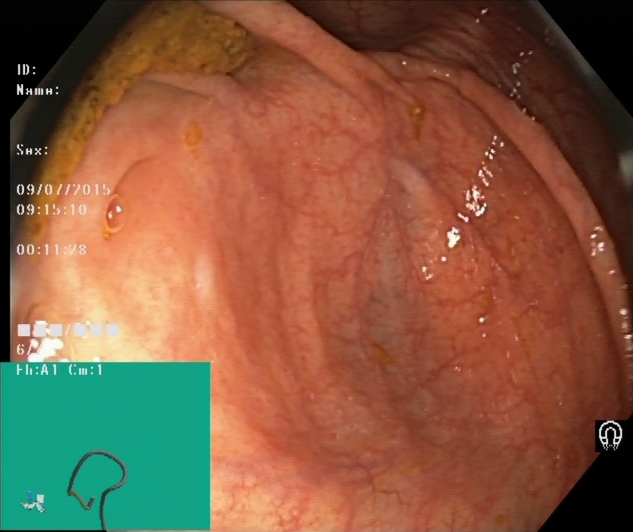cecum.